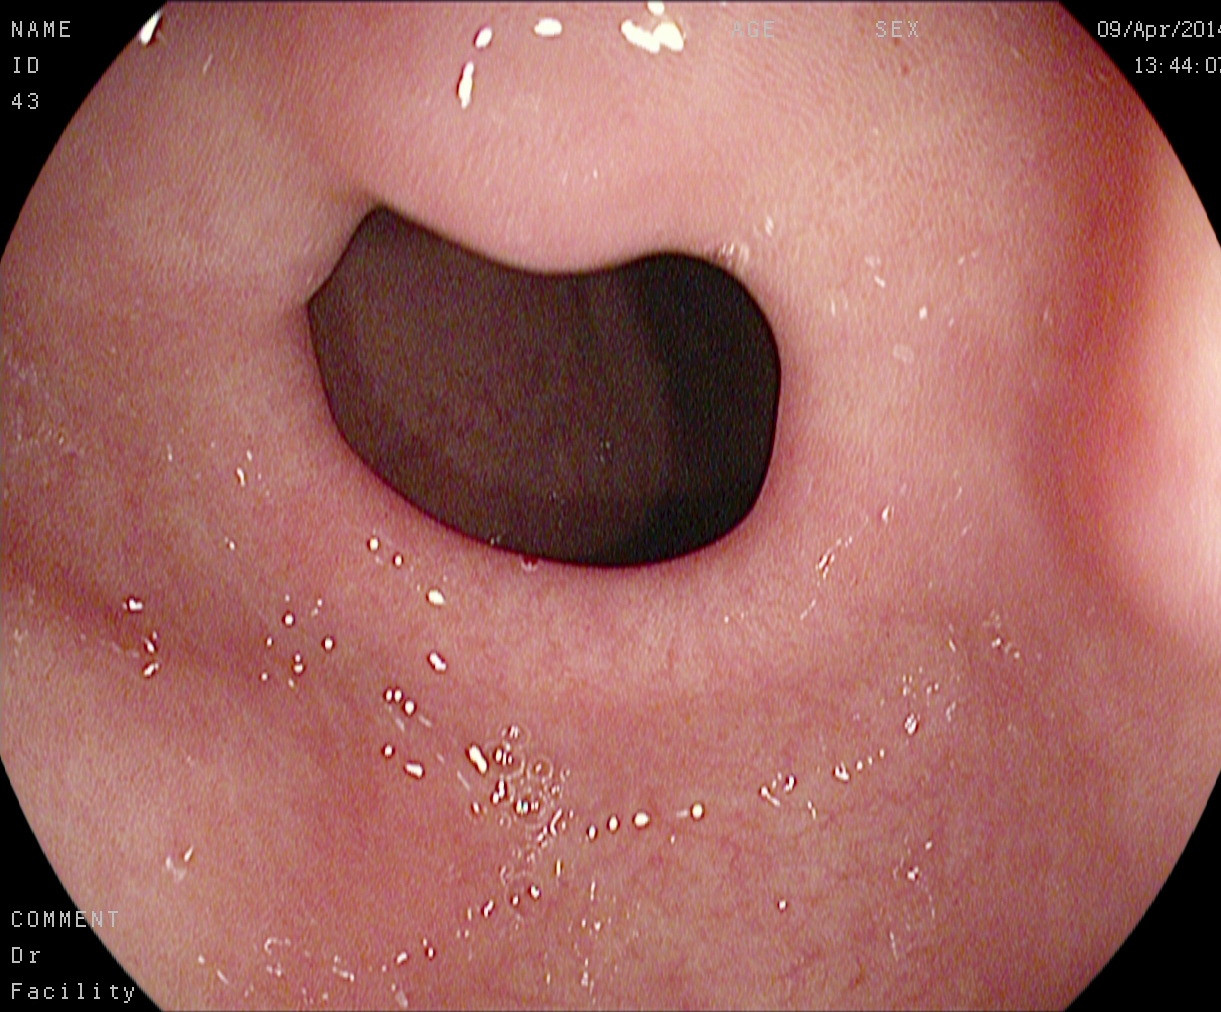modality: gastroscopy; tract: upper GI tract; finding: pylorus